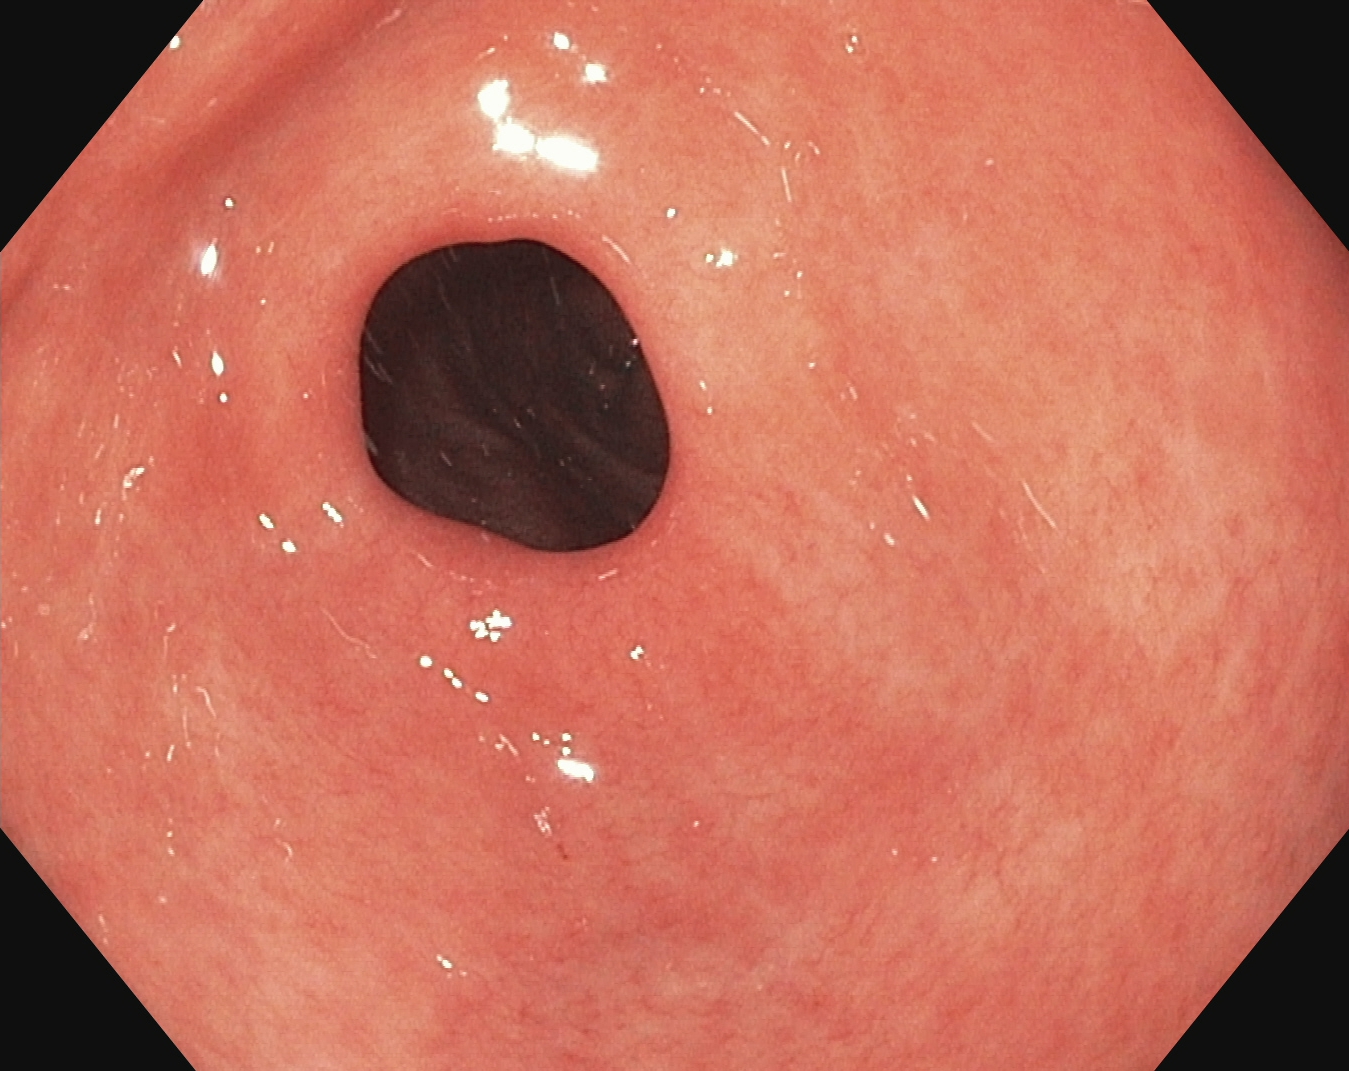PROCEDURE: Upper-GI endoscopy.
FINDINGS: Pylorus.